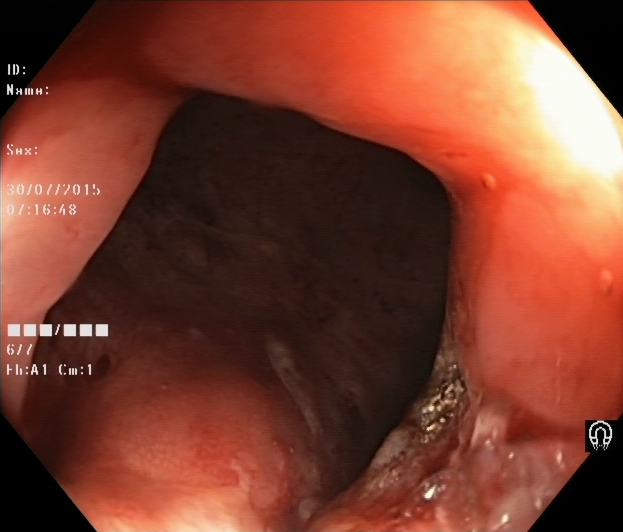This endoscopic image shows UC, Mayo endoscopic subscore 2.